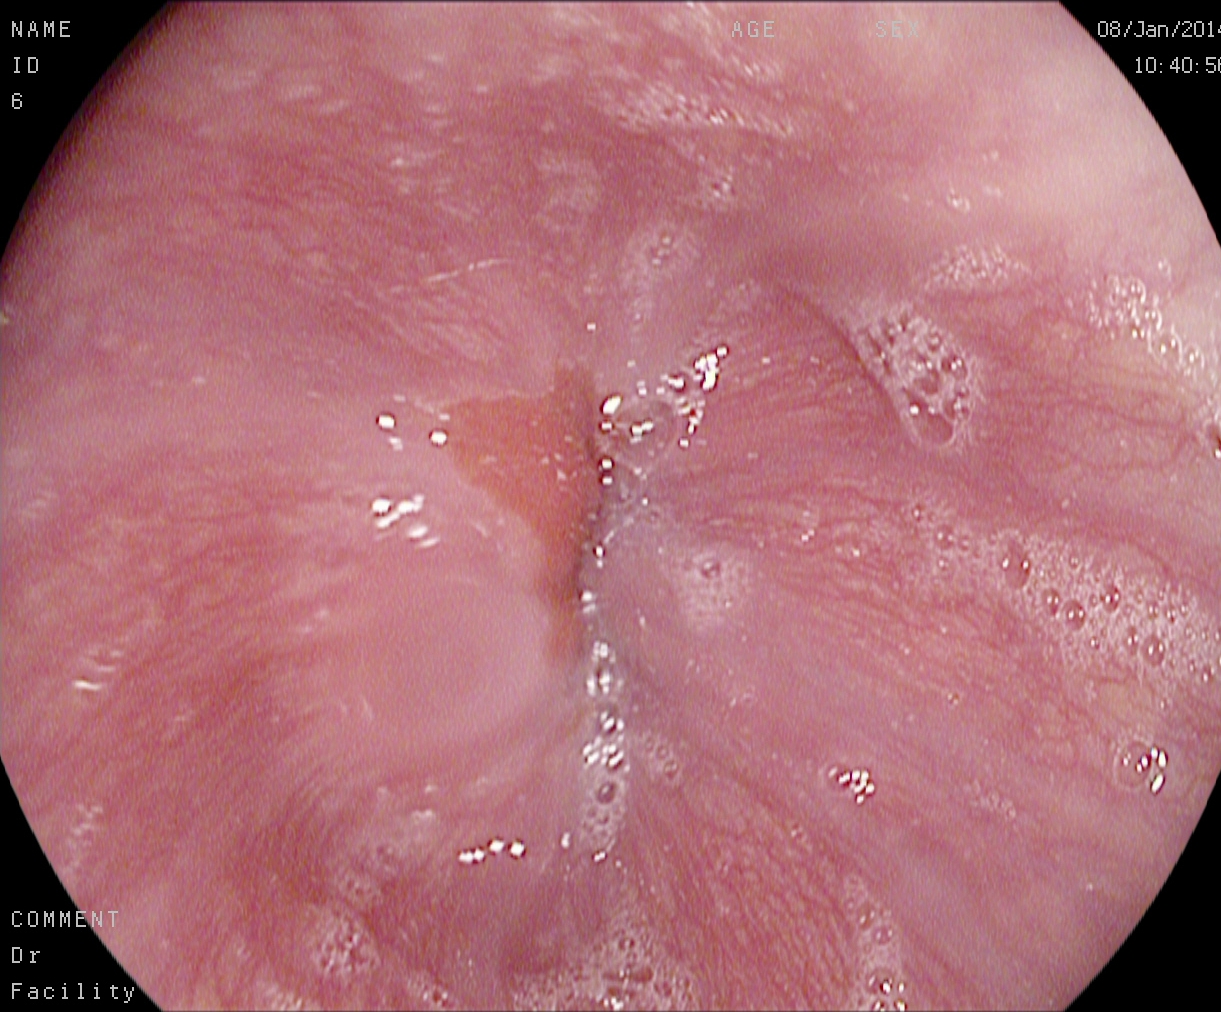modality: esophagogastroduodenoscopy
tract: upper GI tract
category: anatomical landmark
finding: Z-line (gastroesophageal junction)